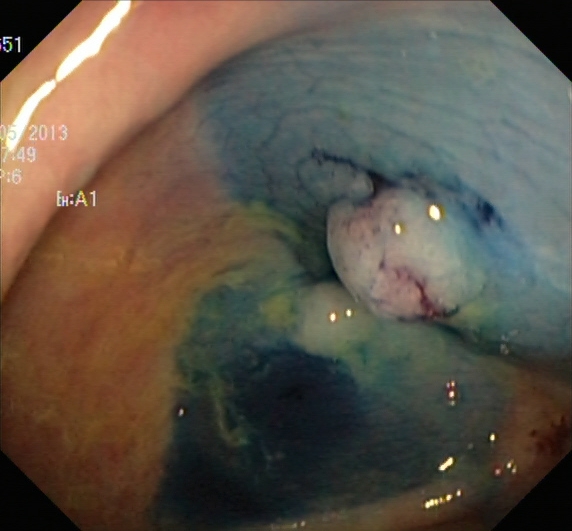Dyed and lifted polyp (pre-resection).